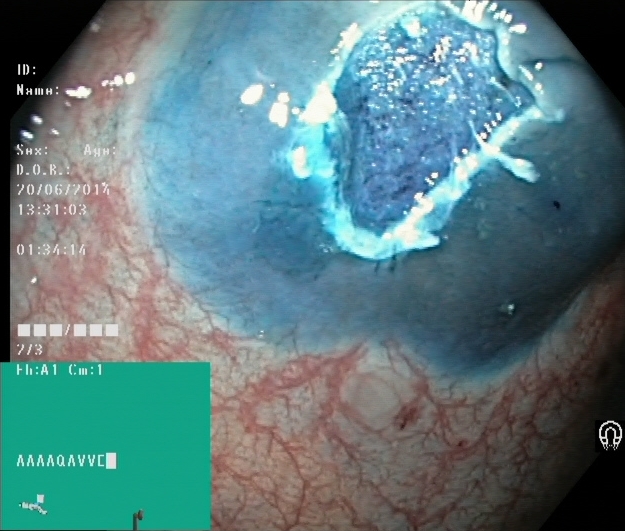This endoscopic image of the lower GI tract shows dyed resection margins (post-polypectomy).